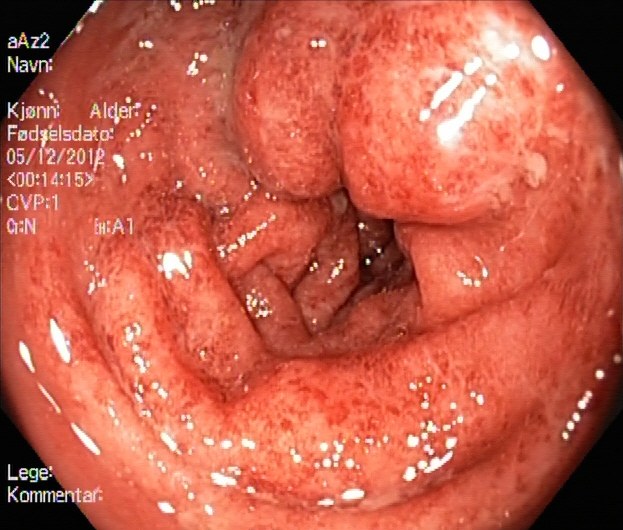{"modality": "lower-GI endoscopy", "tract": "lower GI tract", "finding": "ulcerative colitis, Mayo endoscopic subscore 3"}